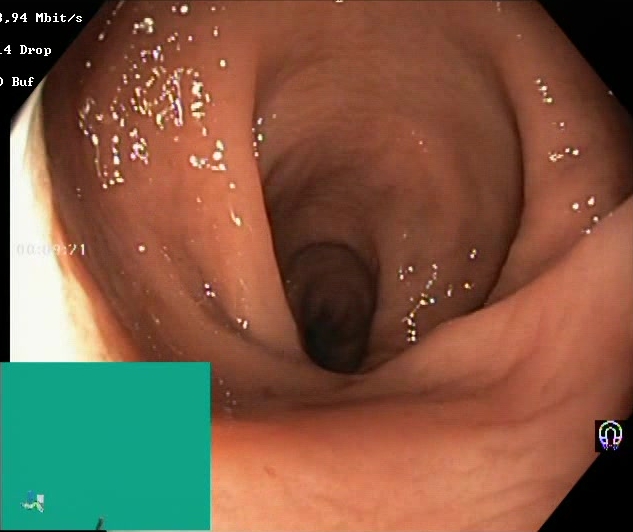This endoscopy frame of the lower GI tract shows Boston Bowel Preparation Scale score 2–3 (adequate preparation).